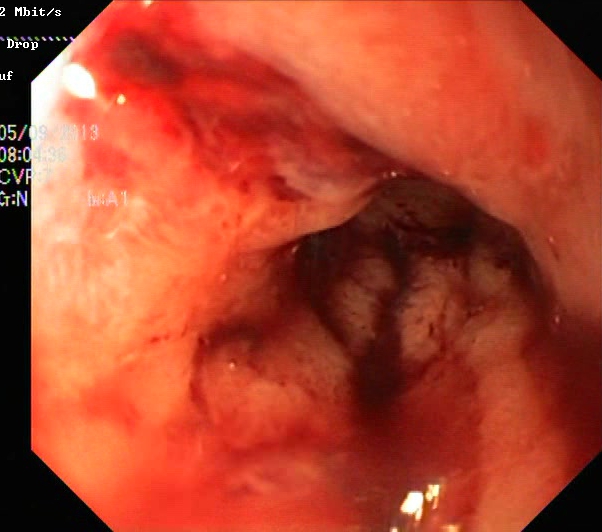{"modality": "lower-GI endoscopy", "category": "pathological finding", "finding": "ulcerative colitis, Mayo endoscopic subscore 2"}